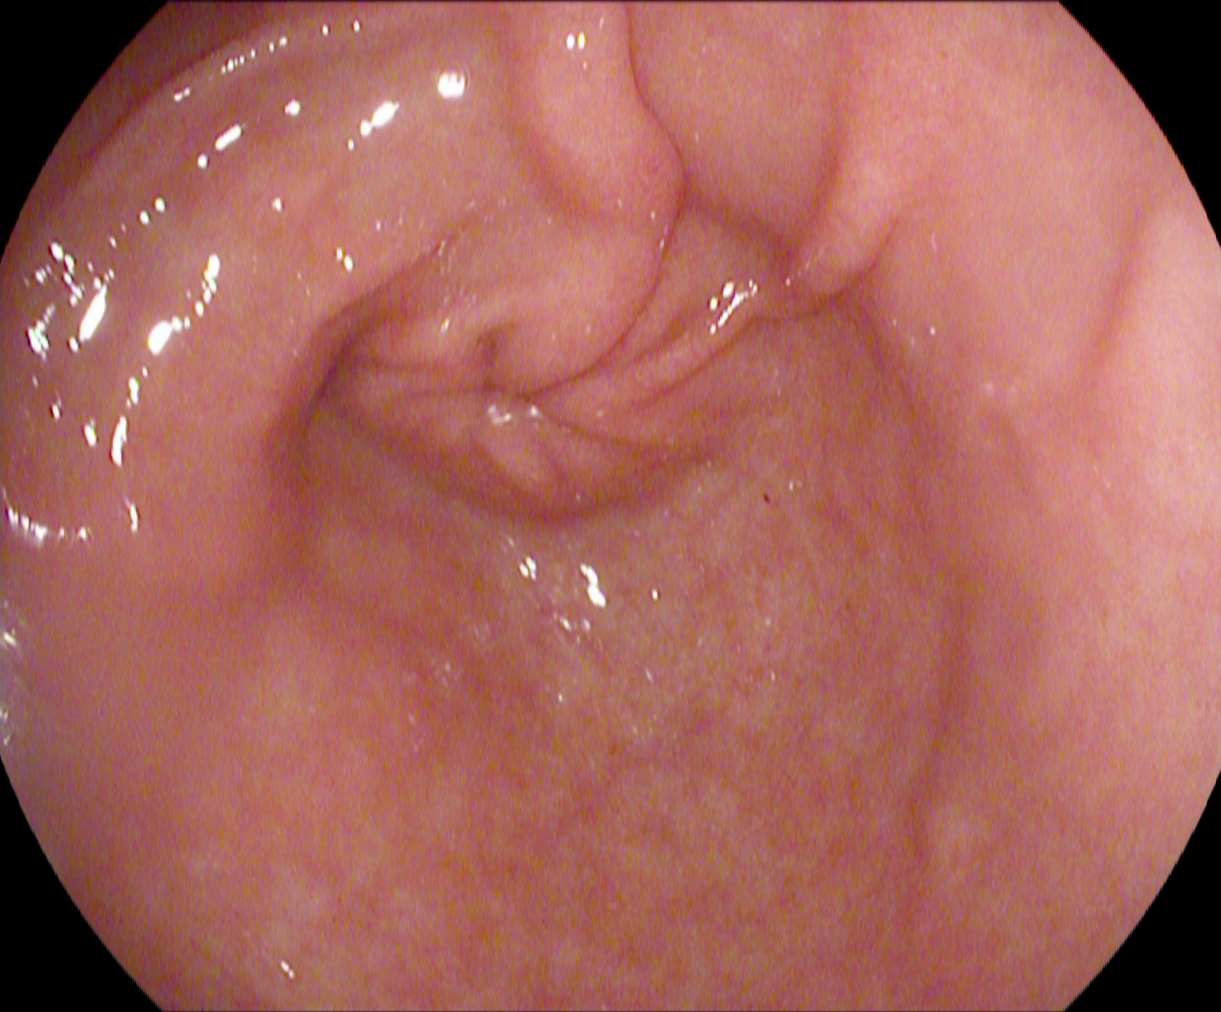pylorus.